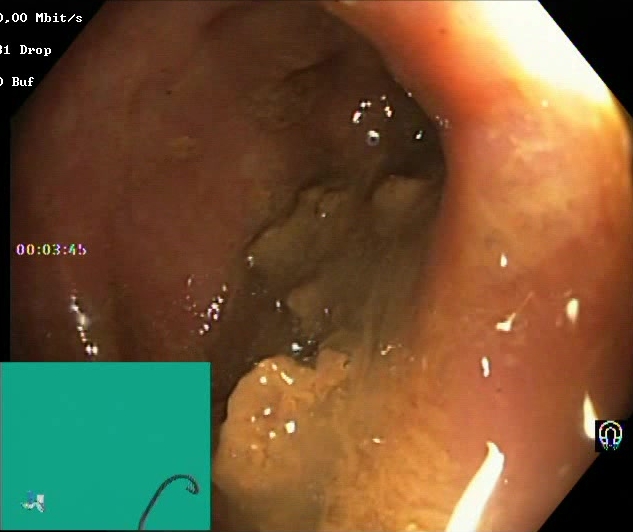Colonoscopy — Boston Bowel Preparation Scale score 0–1 (inadequate preparation).